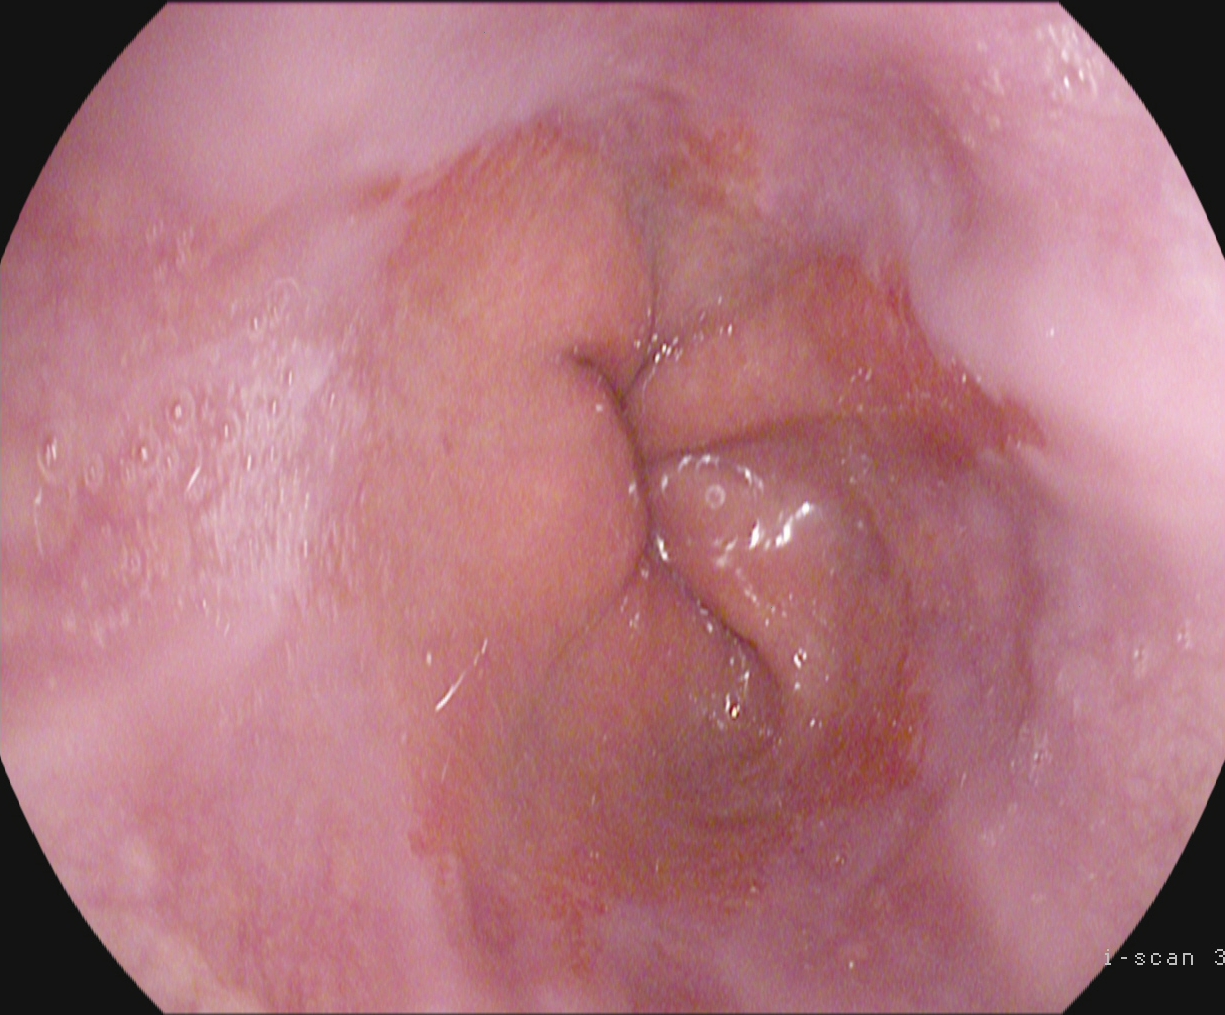reflux esophagitis, Los Angeles grade B–D.